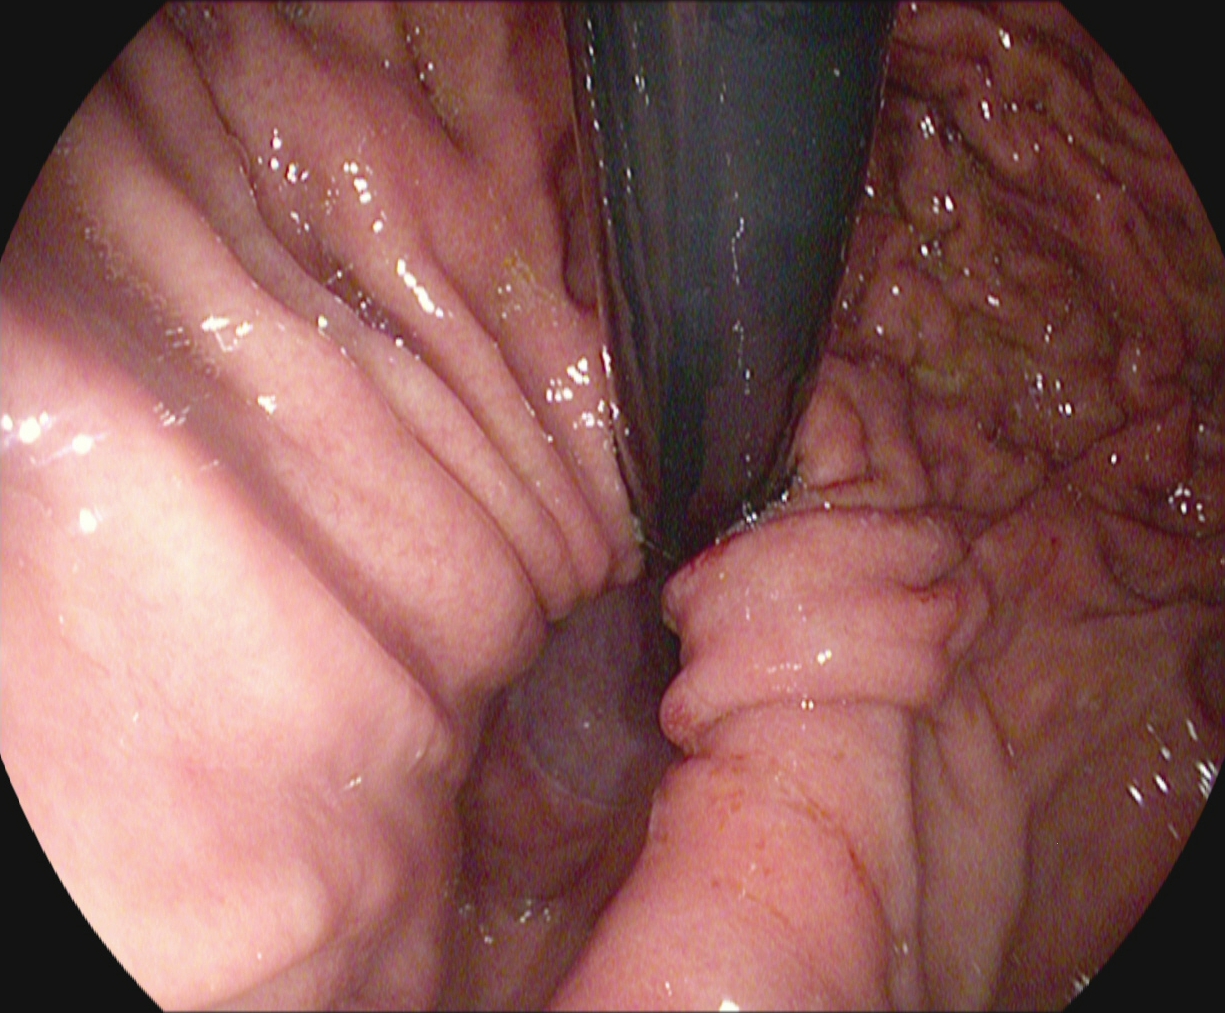This endoscopy frame of the upper GI tract shows stomach in retroflexion.